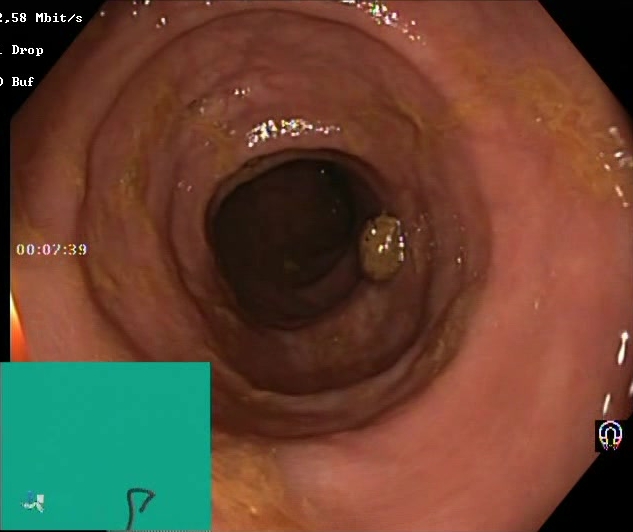Boston Bowel Preparation Scale score 2–3 (adequate preparation).